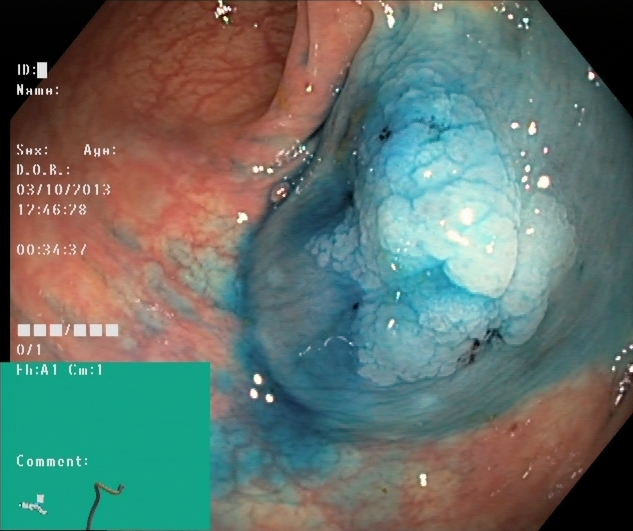PROCEDURE: Colonoscopy.
CATEGORY: Therapeutic intervention.
FINDINGS: Dyed and lifted polyp (pre-resection).